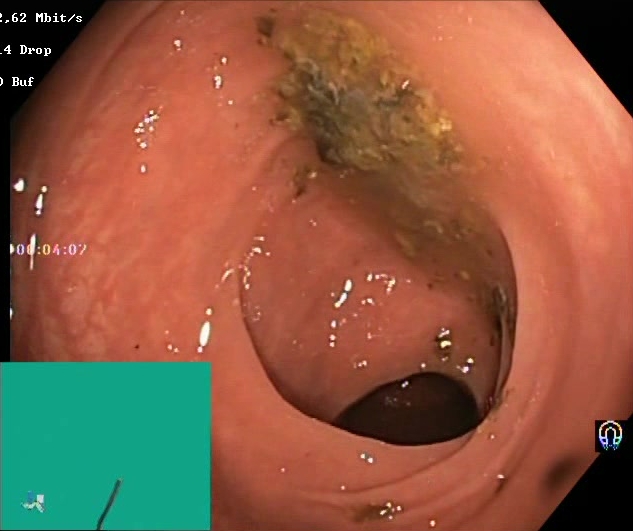GI endoscopy image of the lower GI tract showing Boston Bowel Preparation Scale score 0–1 (inadequate preparation).